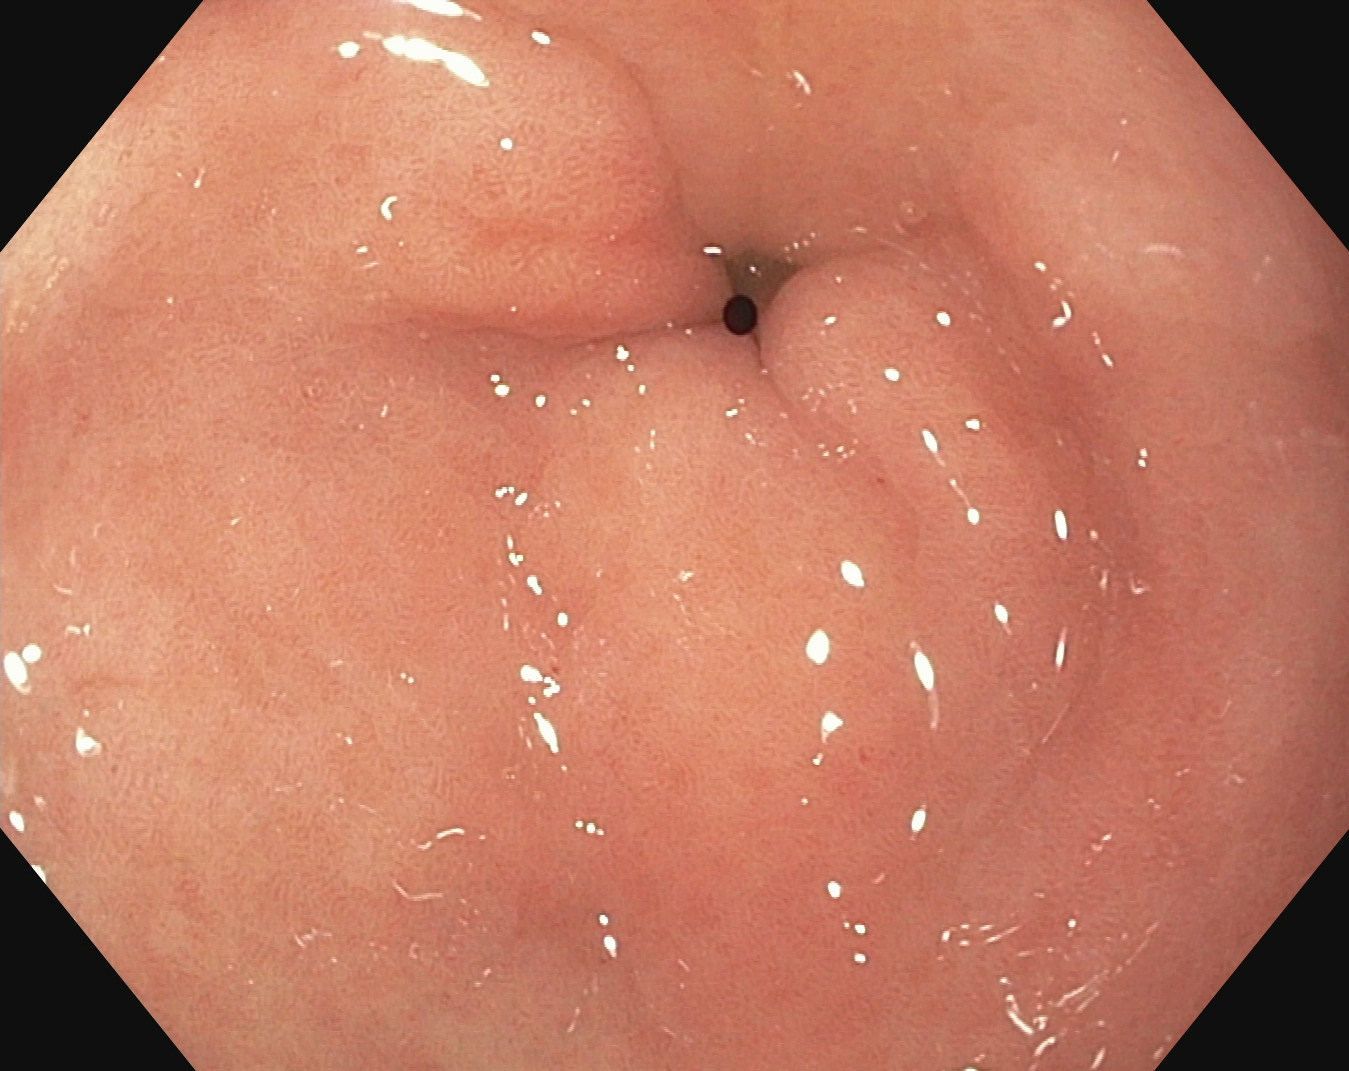{"modality": "gastroscopy", "tract": "upper GI tract", "finding": "pylorus"}